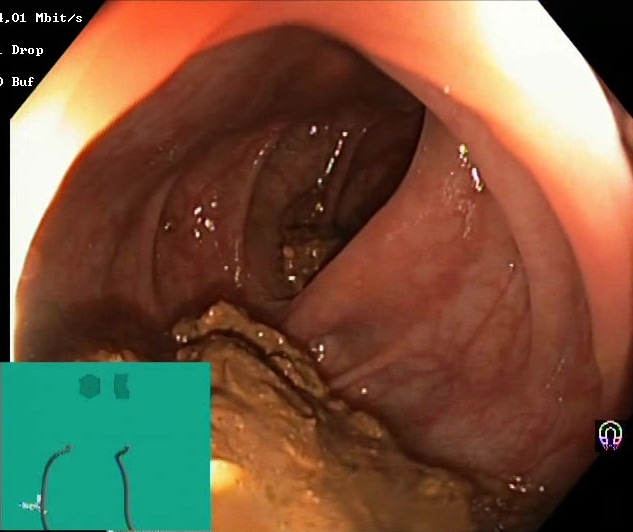This endoscopic image shows Boston Bowel Preparation Scale score 0–1 (inadequate preparation).